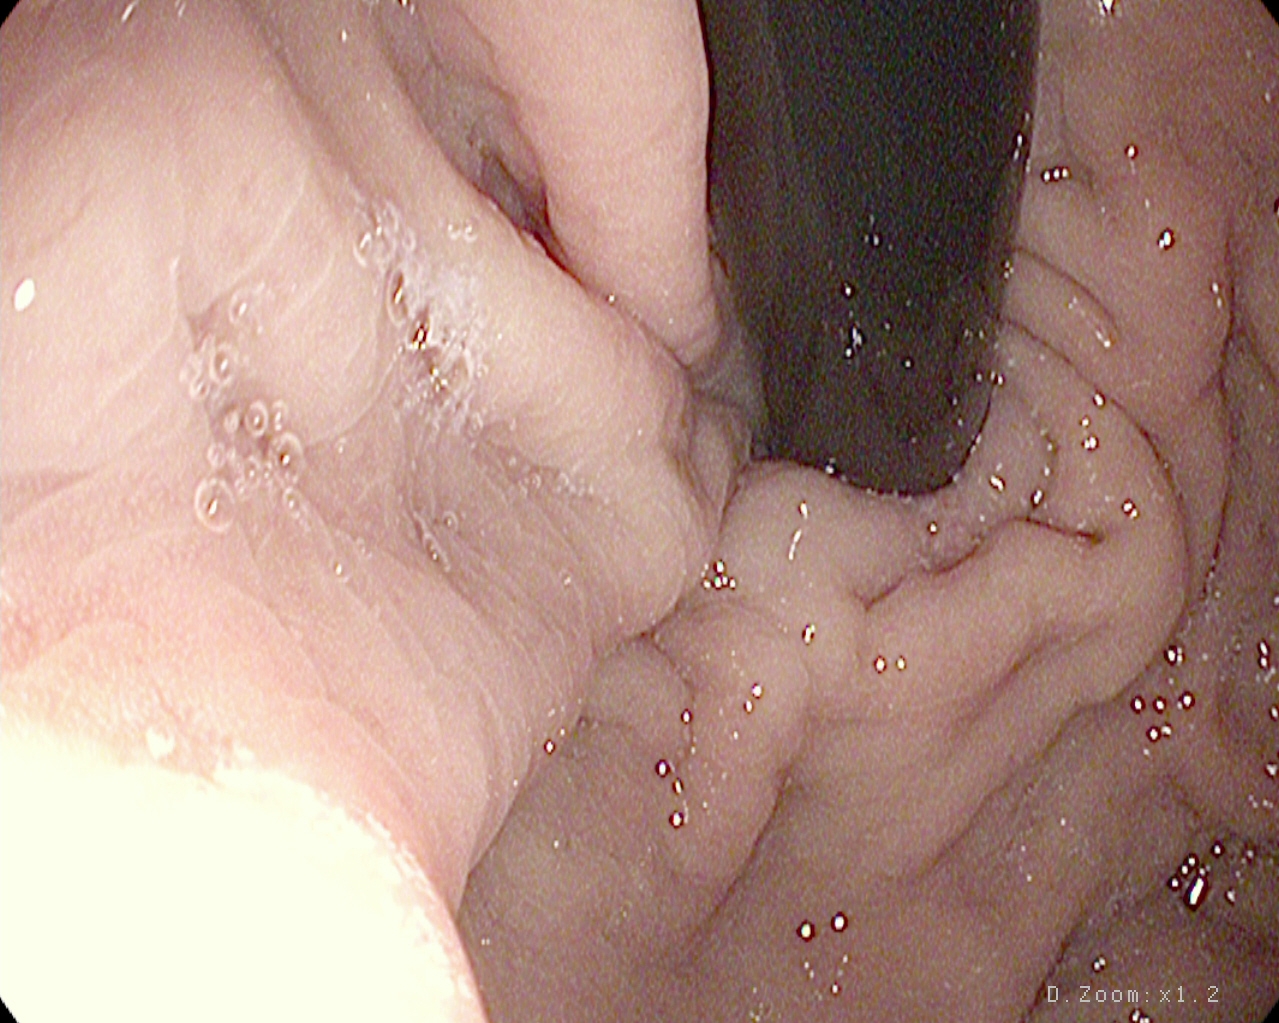Upper-GI endoscopy. Finding: stomach in retroflexion.